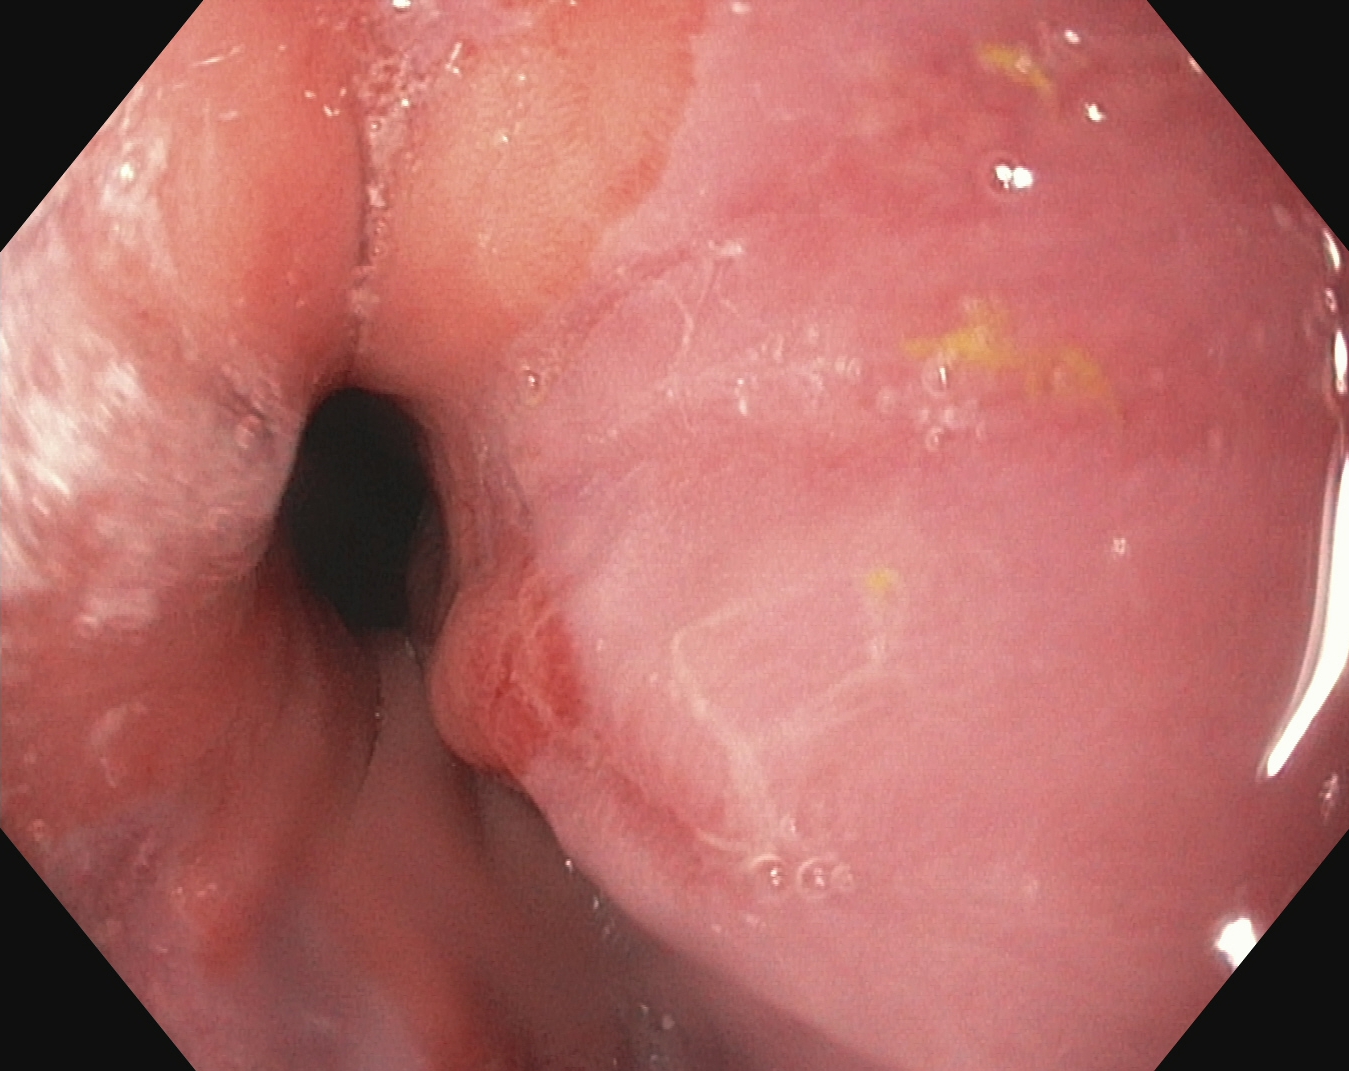{"modality": "upper-GI endoscopy", "tract": "upper GI tract", "finding": "reflux esophagitis, Los Angeles grade A"}